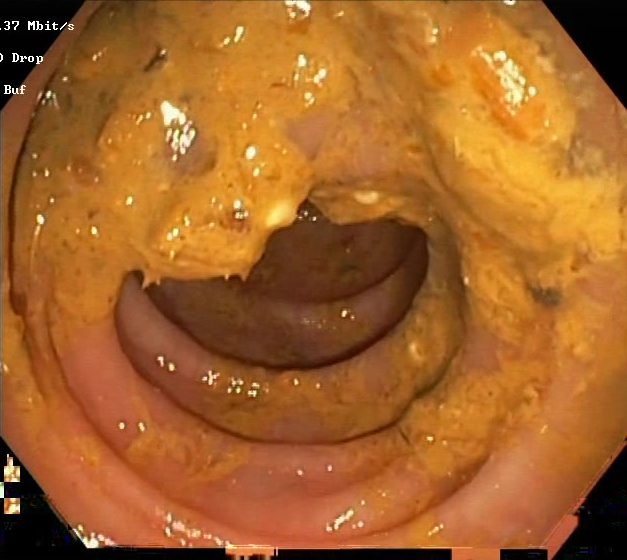Lower gastrointestinal endoscopy — Boston Bowel Preparation Scale score 0–1 (inadequate preparation).